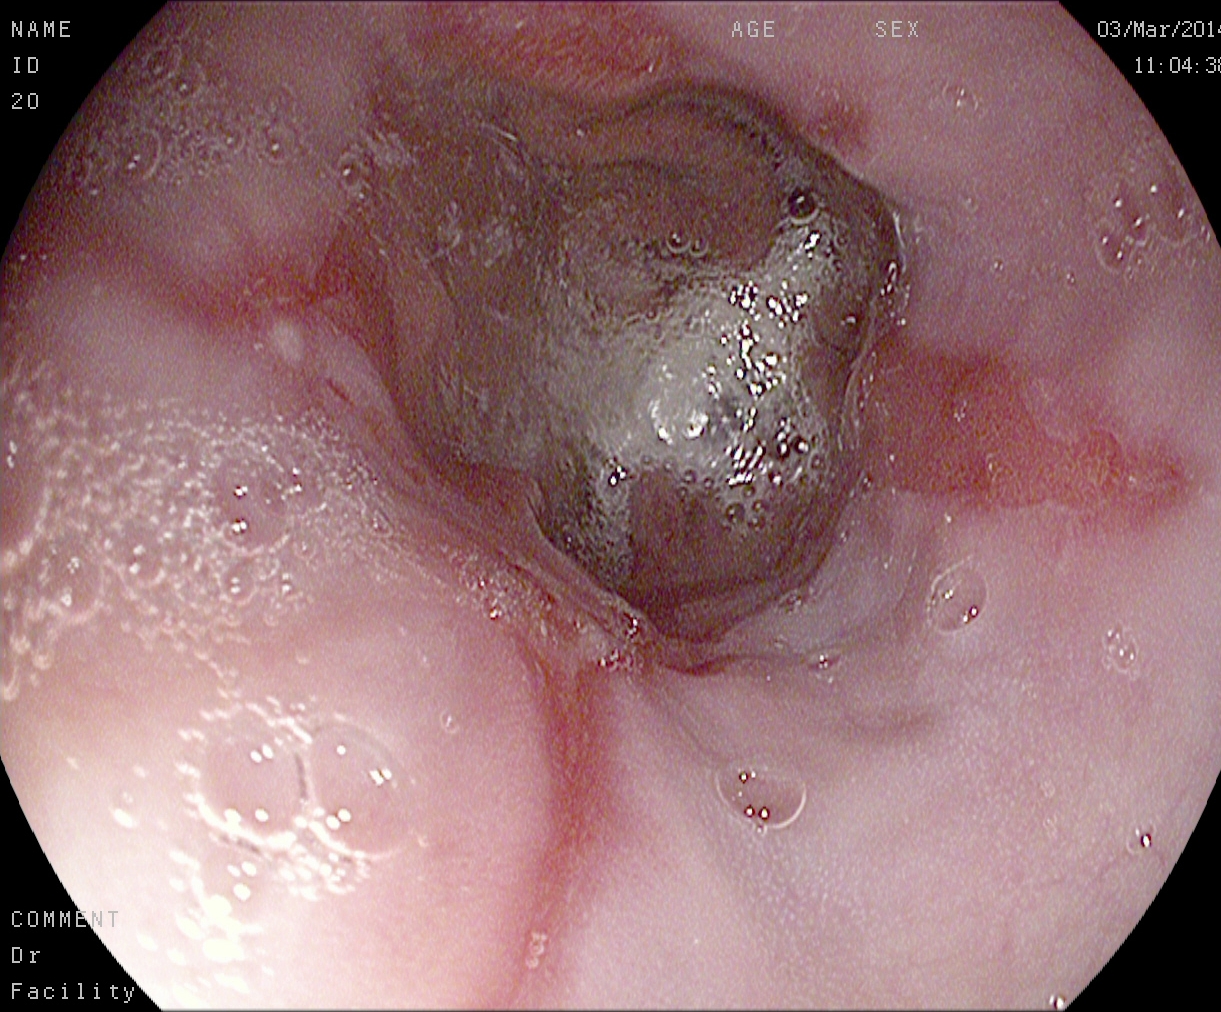modality: EGD
tract: upper GI tract
category: pathological finding
finding: reflux esophagitis, Los Angeles grade A